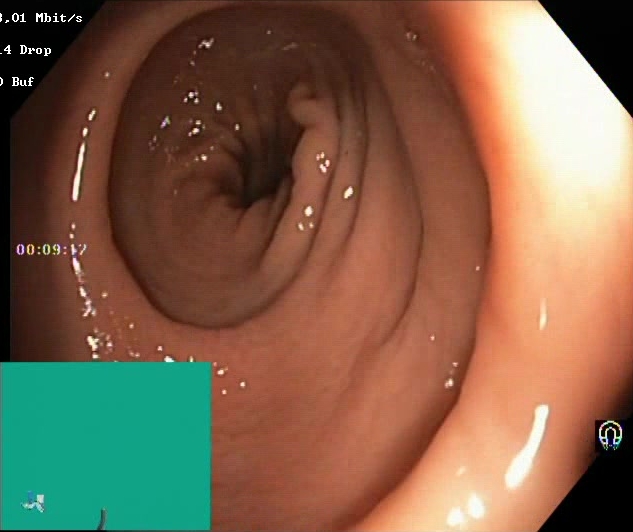Colonoscopy. Finding: Boston Bowel Preparation Scale score 2–3 (adequate preparation).